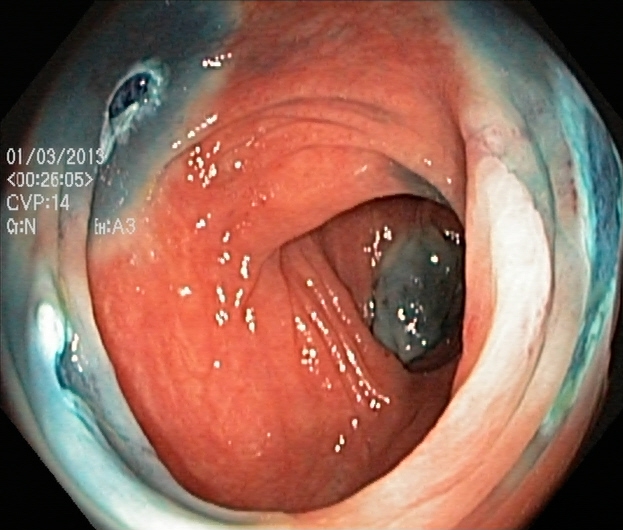Dyed resection margins (post-polypectomy).